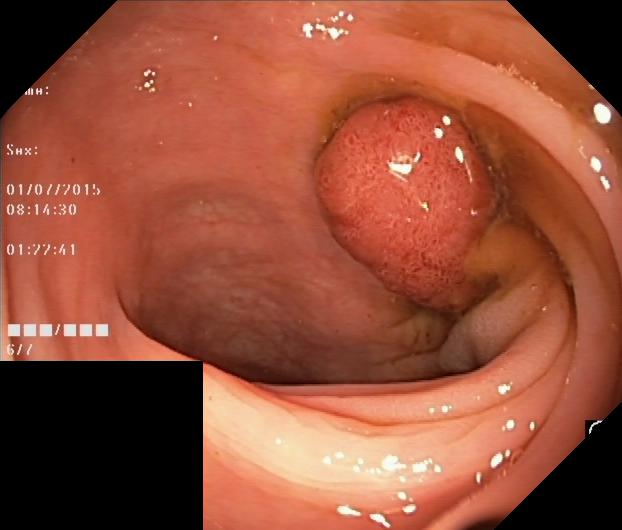Colorectal polyp(s).